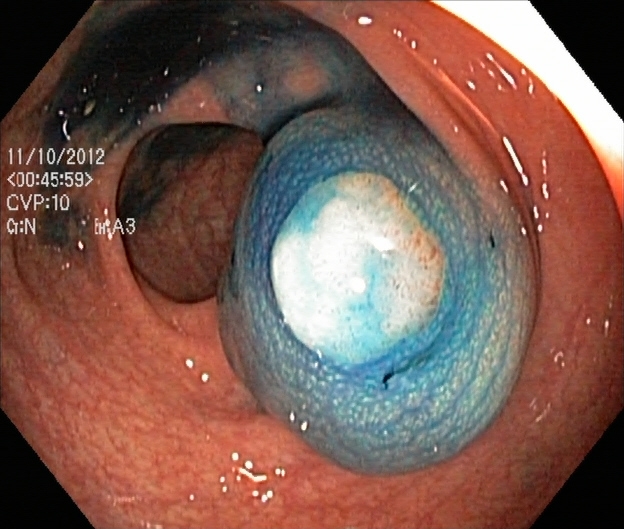{"modality": "lower-GI endoscopy", "tract": "lower GI tract", "finding": "dyed and lifted polyp (pre-resection)"}